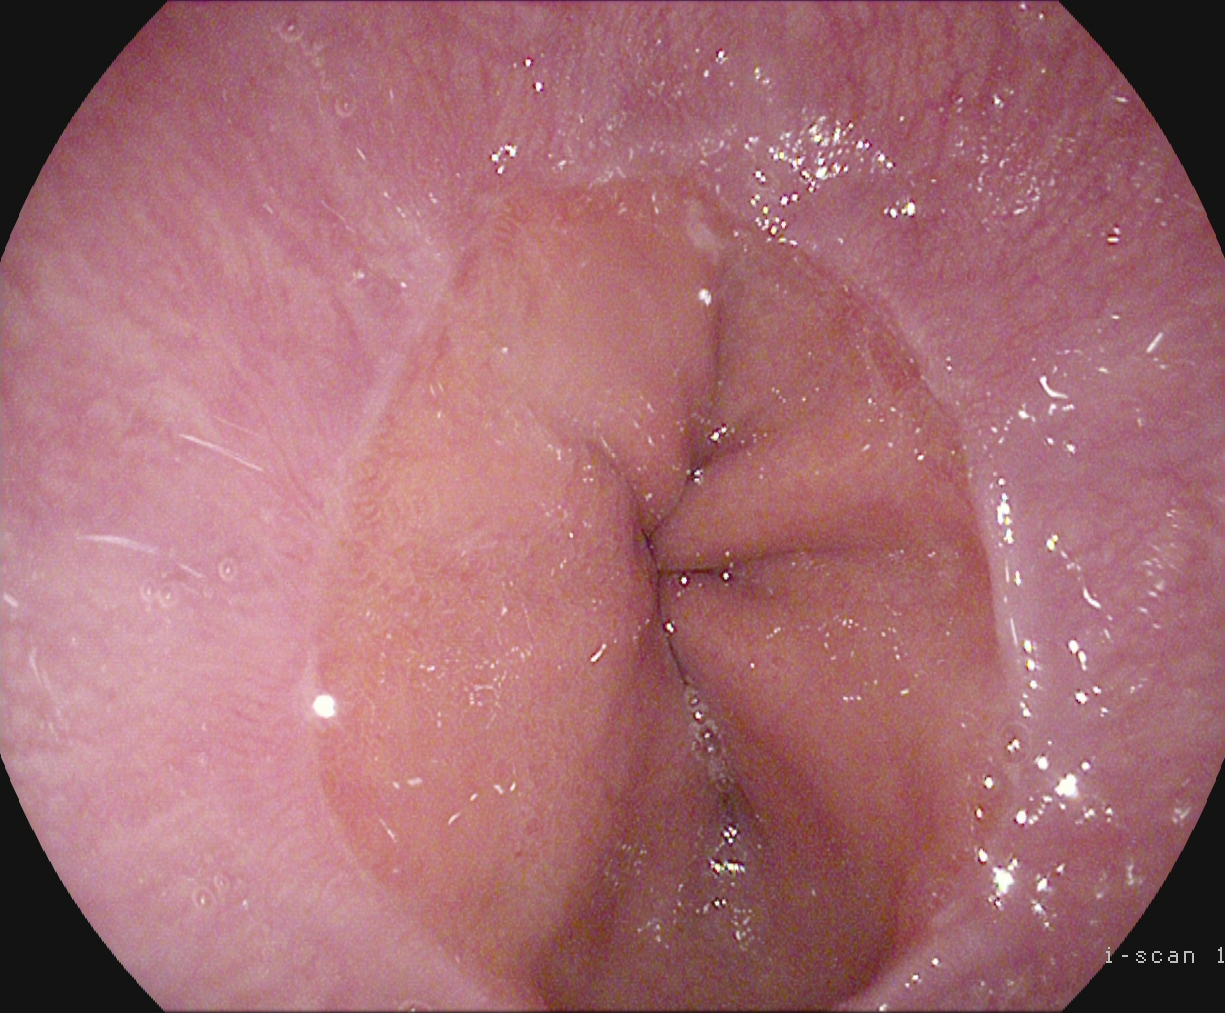modality: gastroscopy; tract: upper GI tract; category: anatomical landmark; finding: Z-line (gastroesophageal junction)